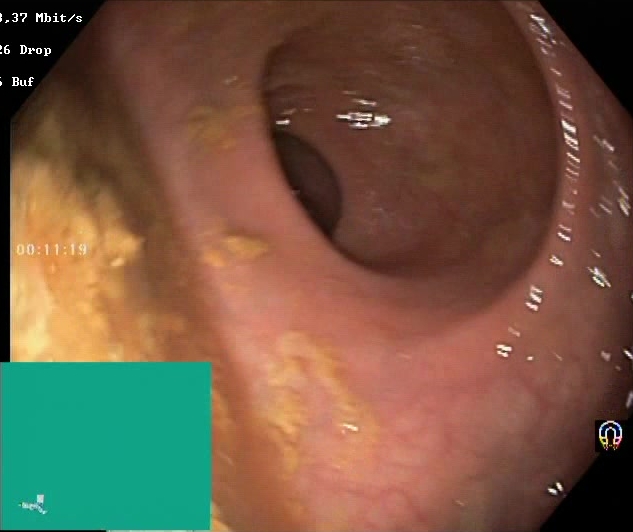Endoscopic image of the lower GI tract showing Boston Bowel Preparation Scale score 0–1 (inadequate preparation).